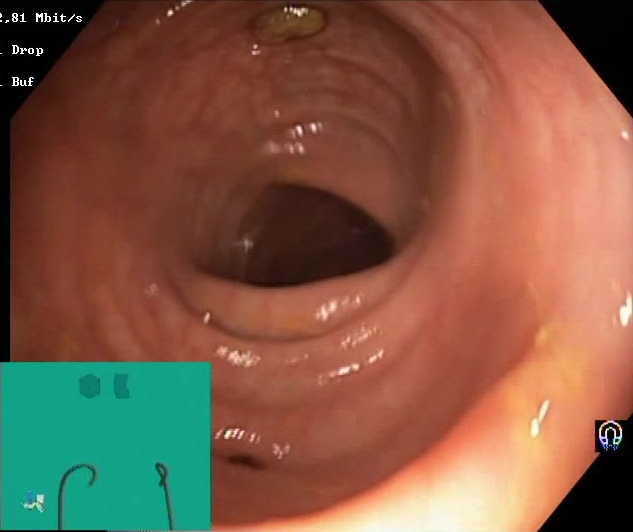Endoscopy image showing Boston Bowel Preparation Scale score 2–3 (adequate preparation).